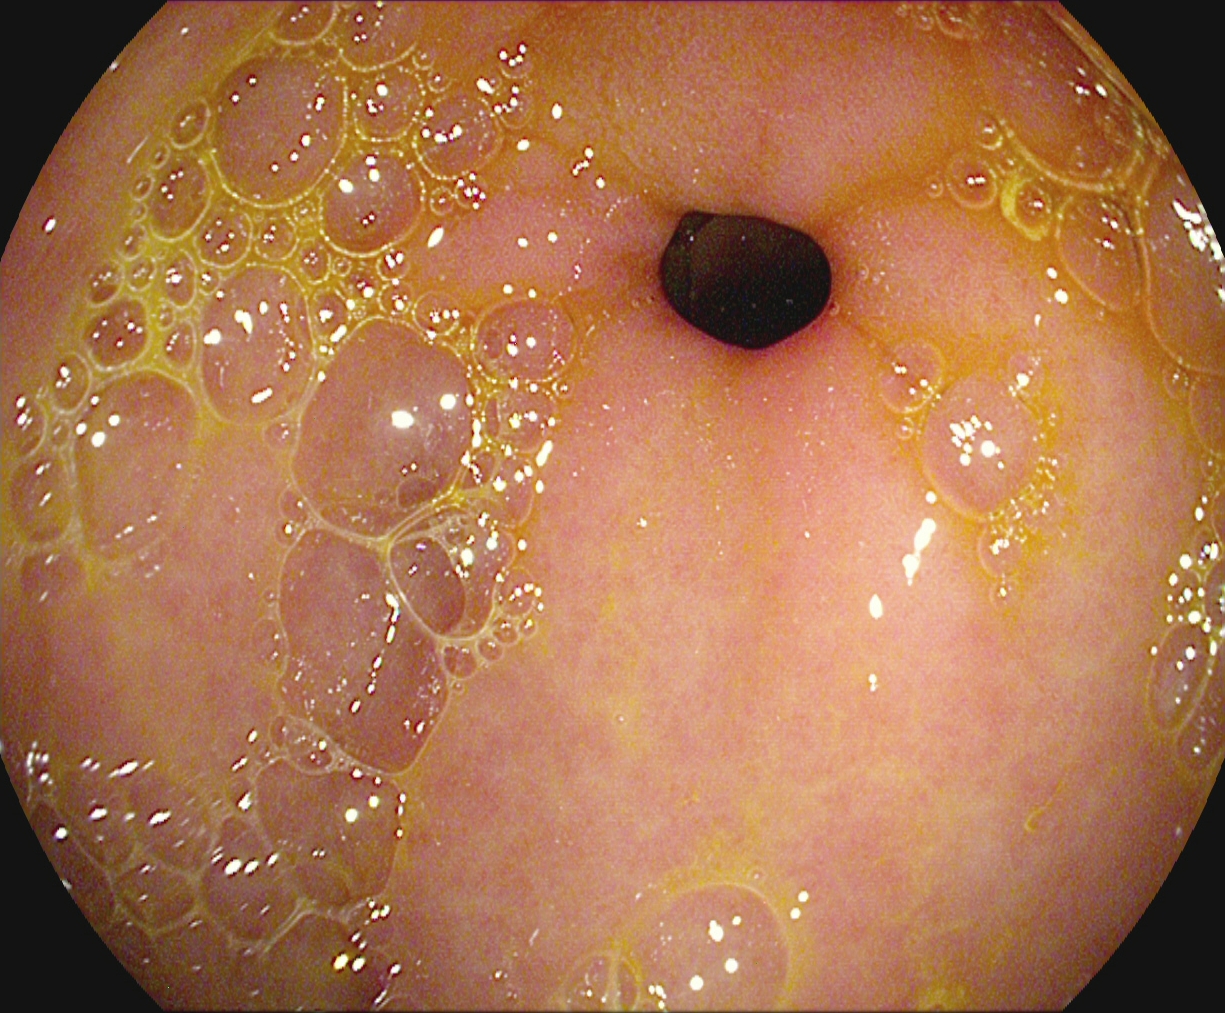pylorus.